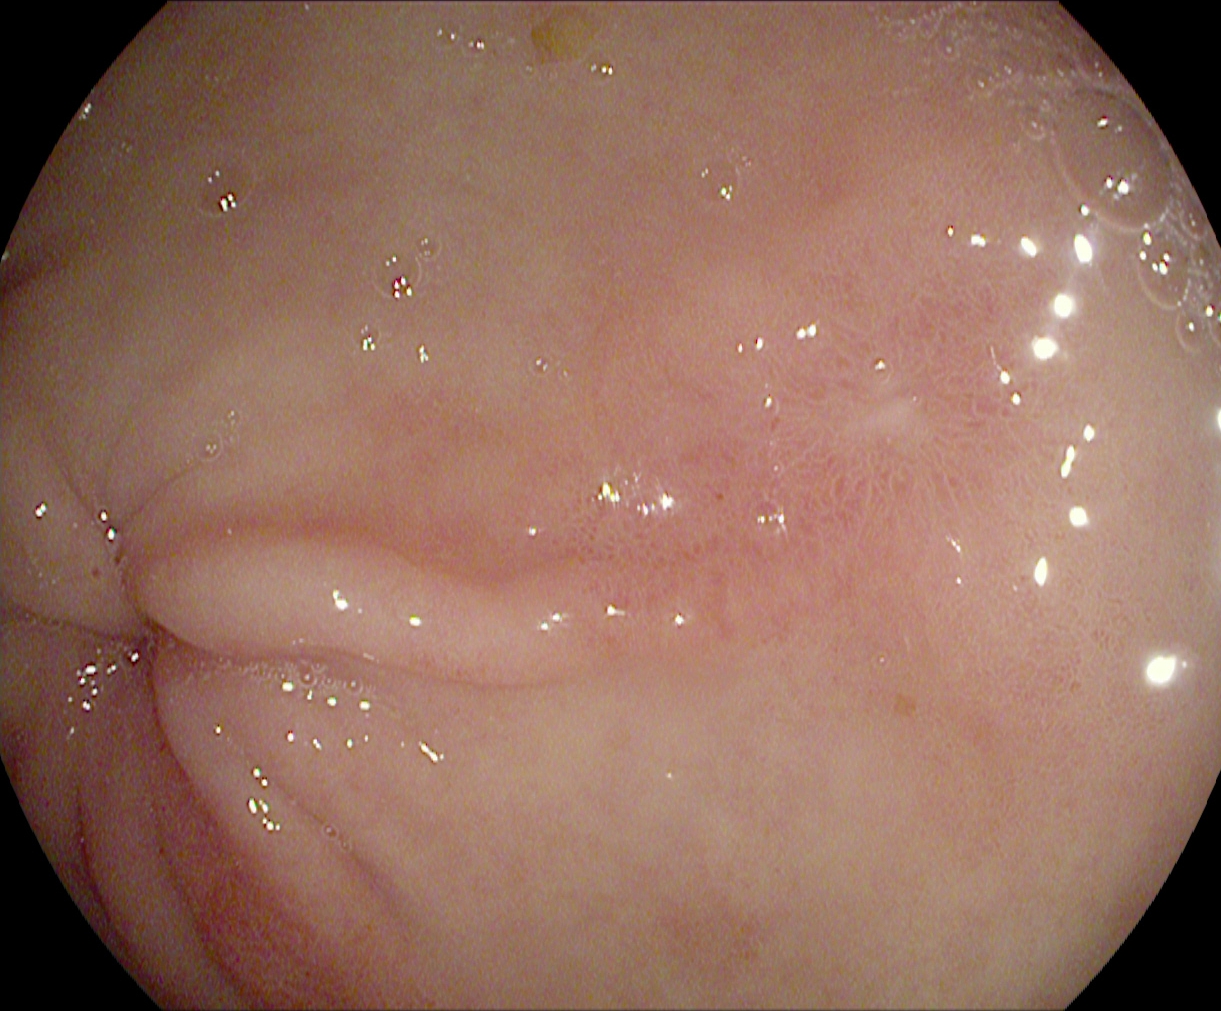PROCEDURE: Upper-GI endoscopy.
FINDINGS: Pylorus.